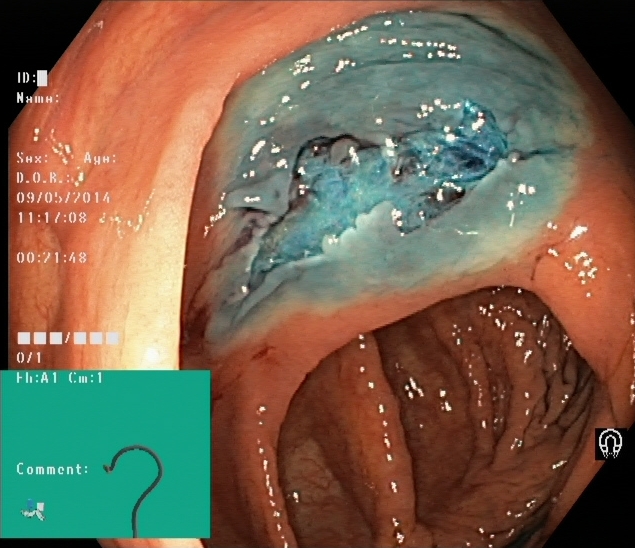This endoscopy frame of the lower GI tract shows dyed resection margins (post-polypectomy).